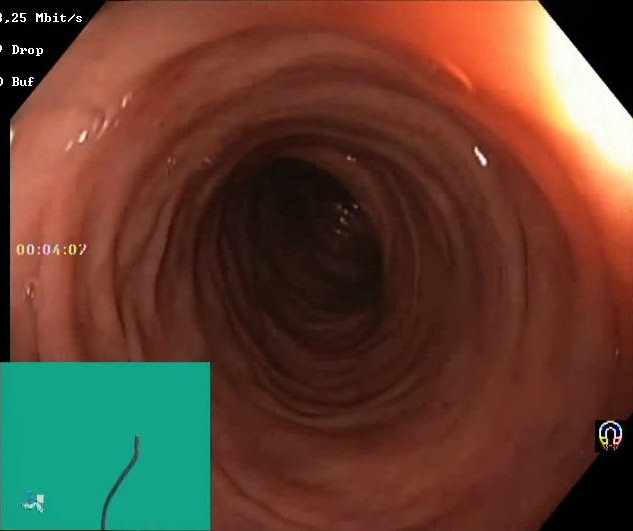PROCEDURE: Colonoscopy.
FINDINGS: Boston Bowel Preparation Scale score 2–3 (adequate preparation).